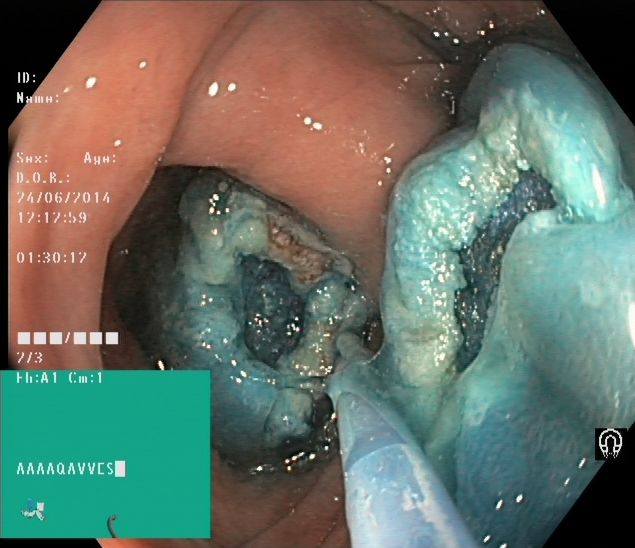Lower gastrointestinal endoscopy — dyed resection margins (post-polypectomy).